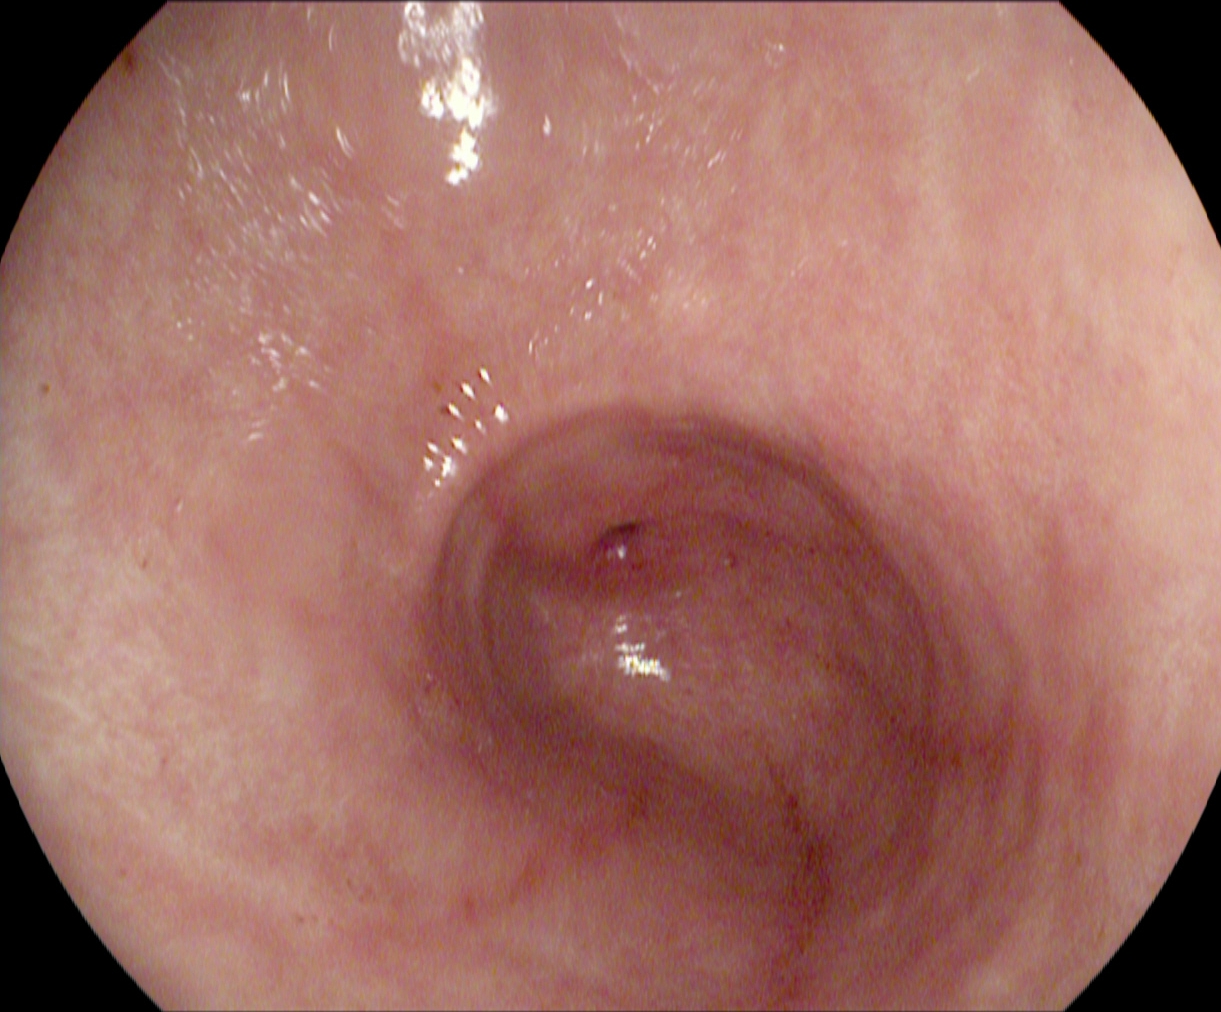PROCEDURE: Upper-GI endoscopy.
CATEGORY: Anatomical landmark.
FINDINGS: Pylorus.